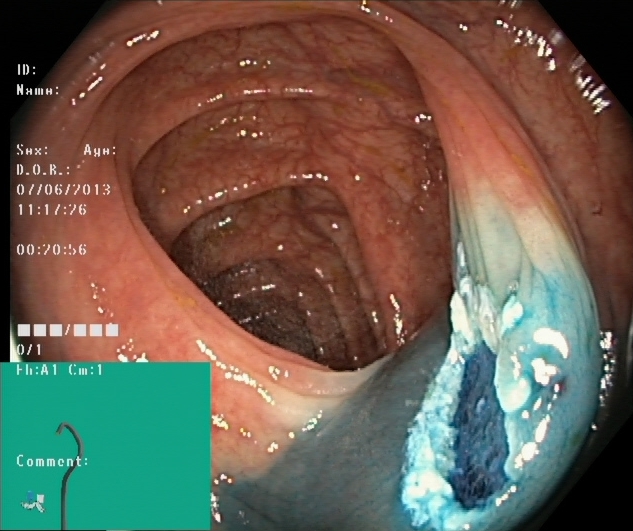PROCEDURE: Lower gastrointestinal endoscopy.
FINDINGS: Dyed resection margins (post-polypectomy).